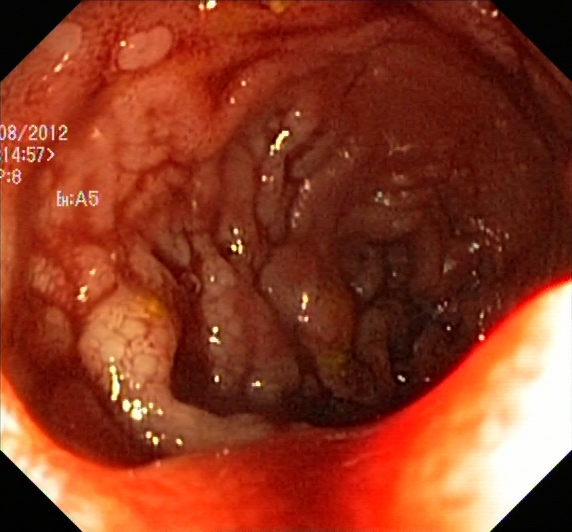Ulcerative colitis, Mayo endoscopic subscore 3.